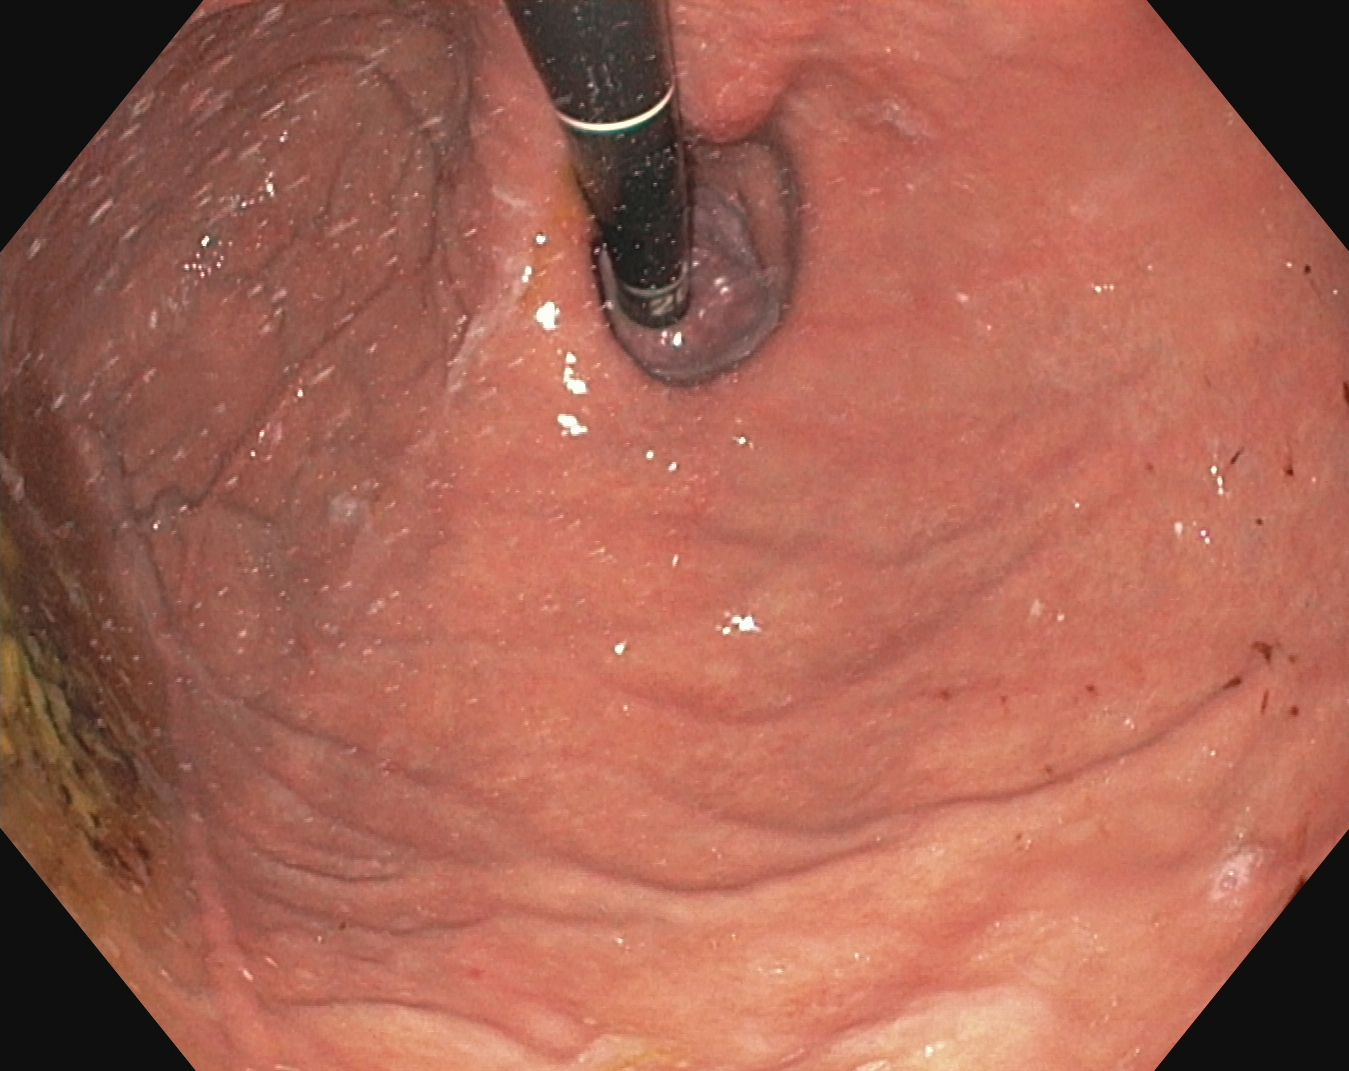Stomach in retroflexion.